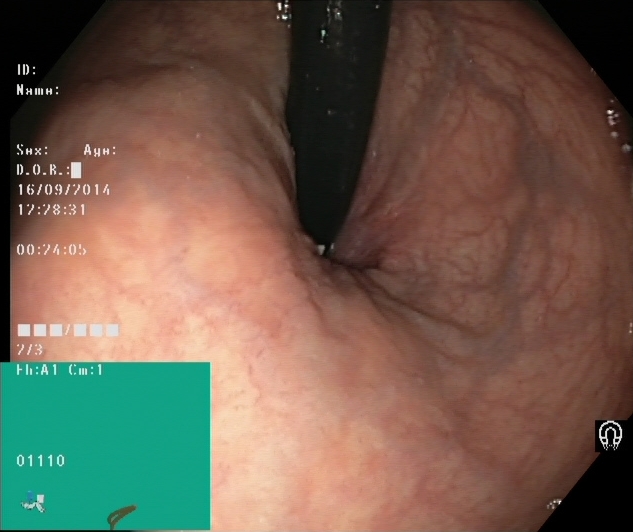Rectum in retroflexion.